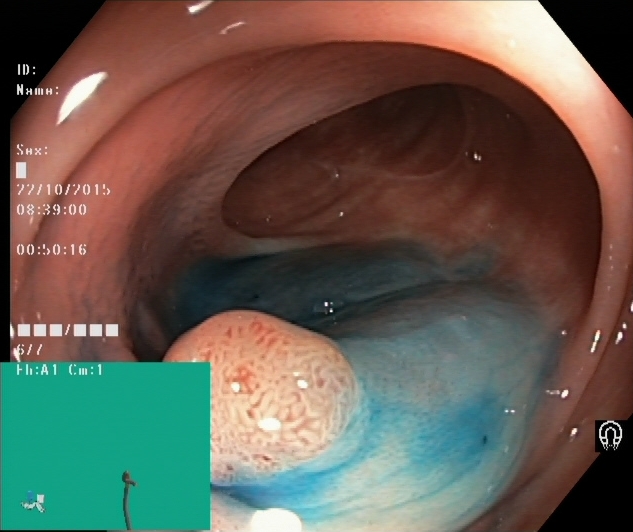PROCEDURE: Colonoscopy.
CATEGORY: Therapeutic intervention.
FINDINGS: Dyed and lifted polyp (pre-resection).